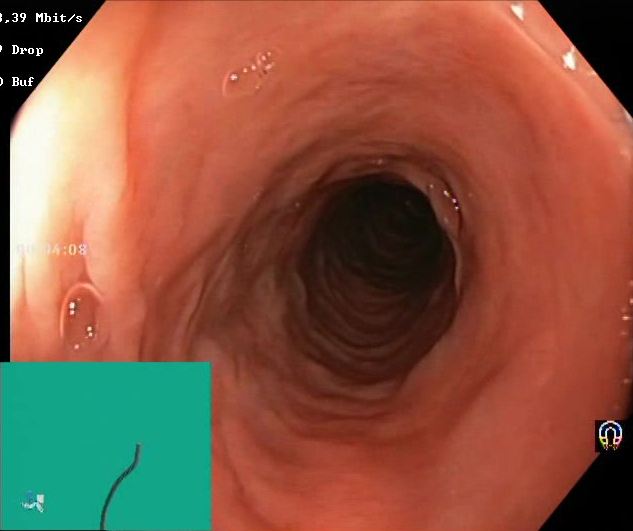{"modality": "lower-GI endoscopy", "tract": "lower GI tract", "category": "mucosal-view quality", "finding": "Boston Bowel Preparation Scale score 2\u20133 (adequate preparation)"}